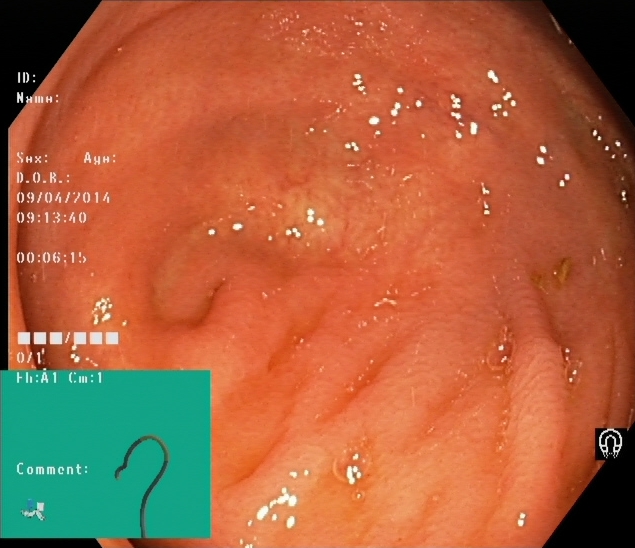Lower-GI endoscopy — cecum.